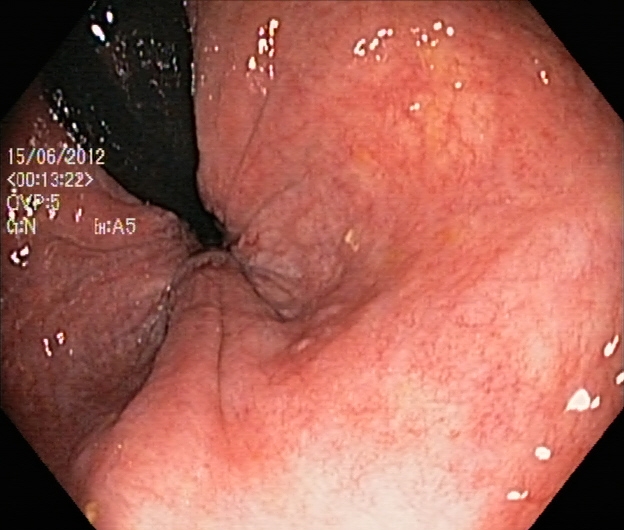{"modality": "lower gastrointestinal endoscopy", "tract": "lower GI tract", "finding": "rectum in retroflexion"}